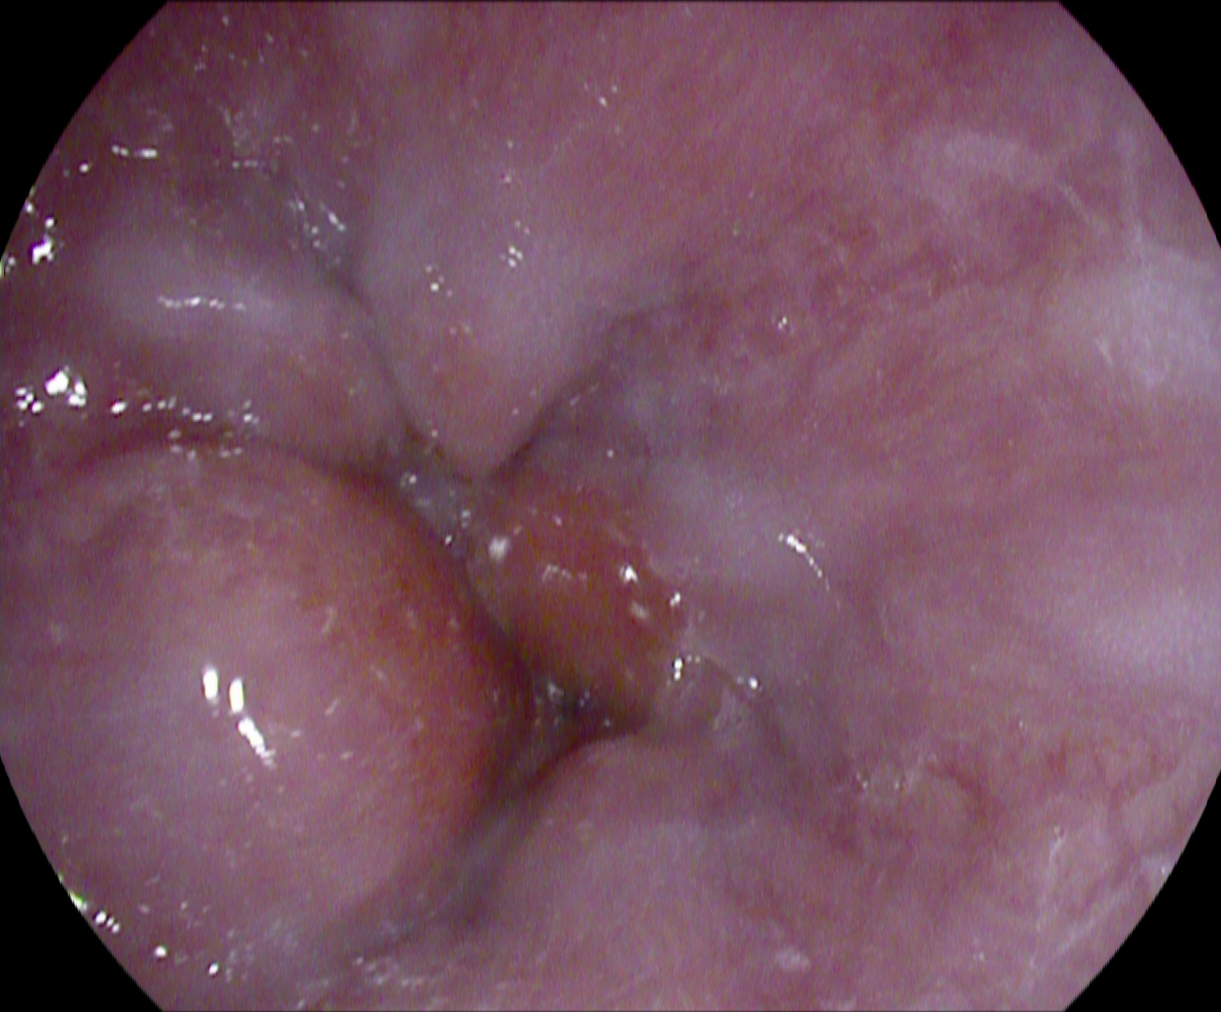modality: EGD
tract: upper GI tract
finding: Z-line (gastroesophageal junction)